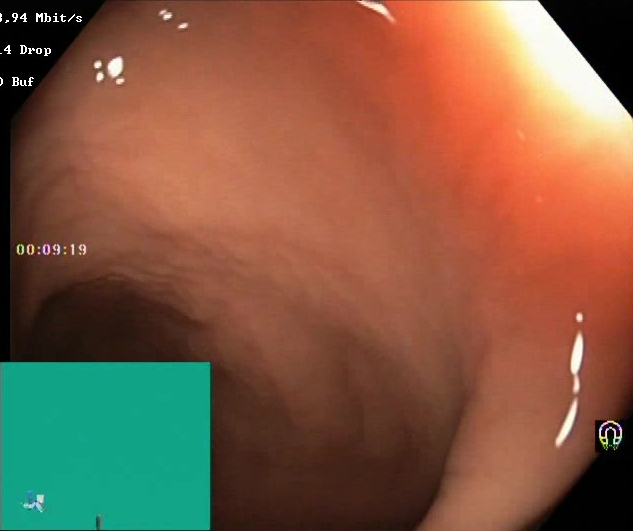{"modality": "lower gastrointestinal endoscopy", "tract": "lower GI tract", "category": "mucosal-view quality", "finding": "BBPS score 2\u20133 (adequate preparation)"}